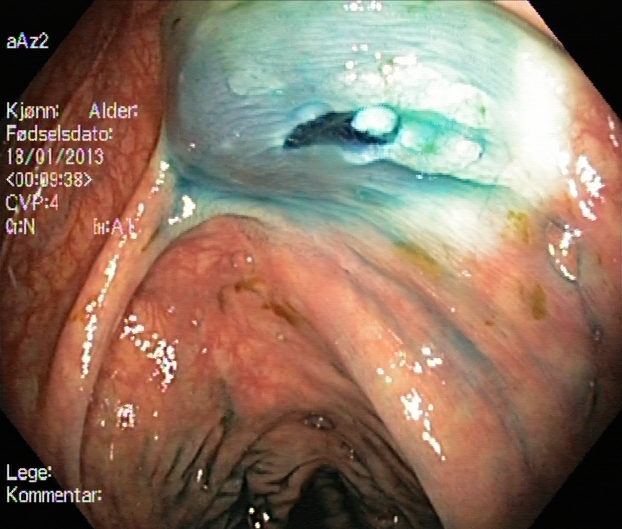Colonoscopy — dyed resection margins (post-polypectomy).